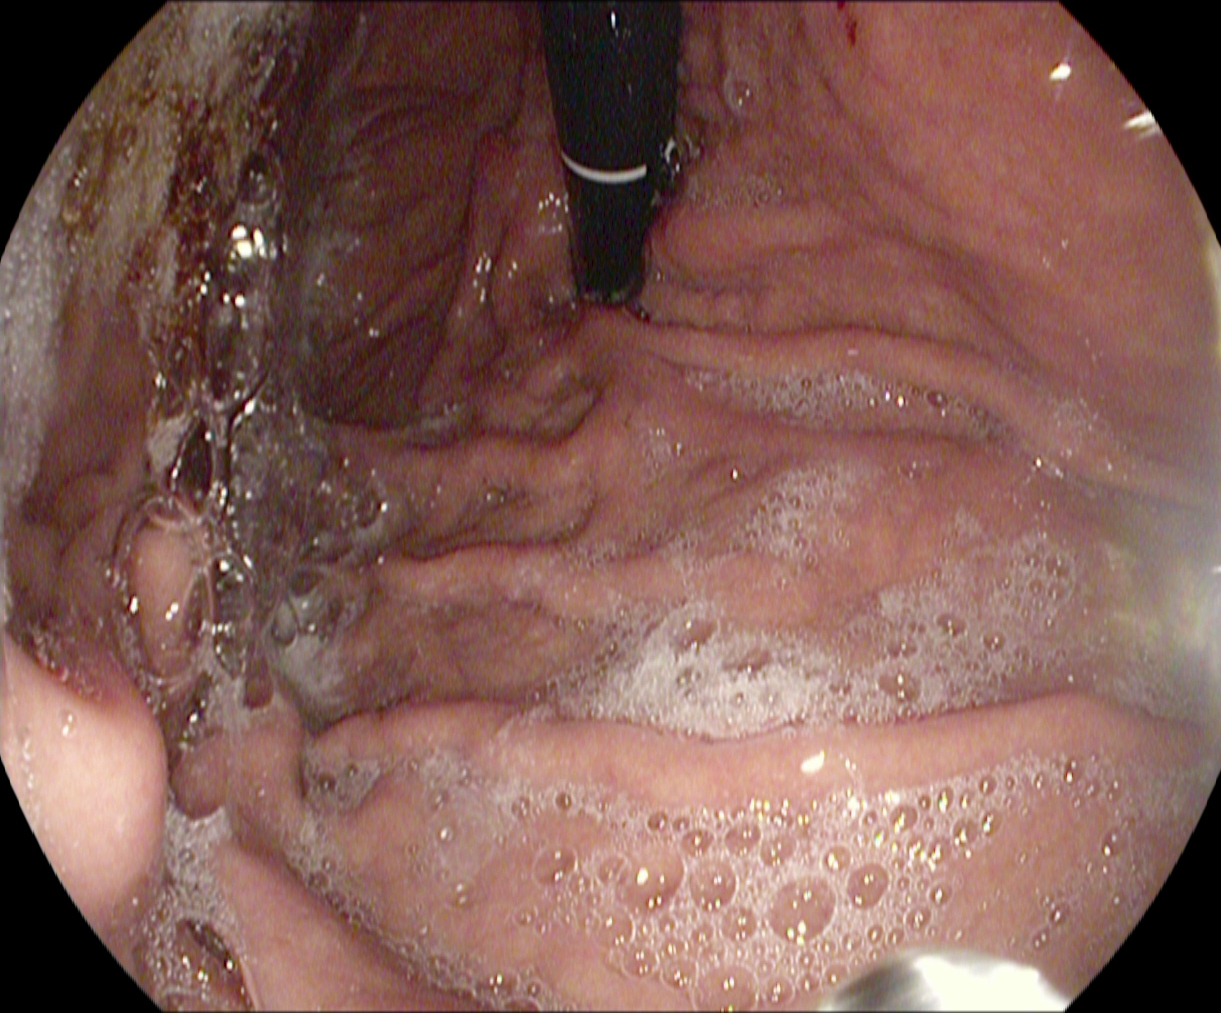Esophagogastroduodenoscopy — stomach in retroflexion.